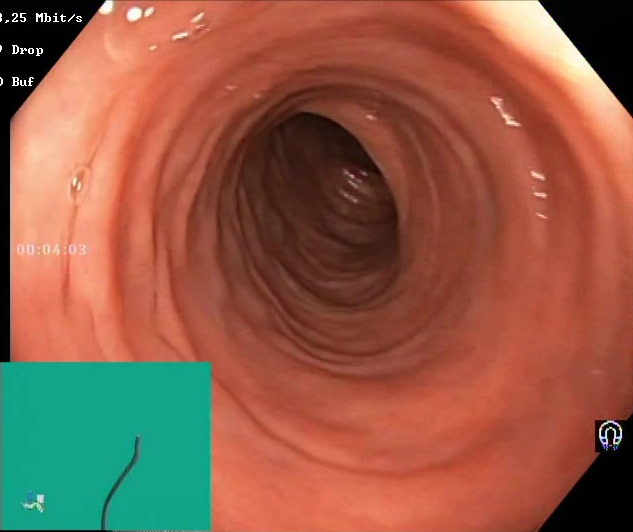PROCEDURE: Colonoscopy.
FINDINGS: BBPS score 2–3 (adequate preparation).